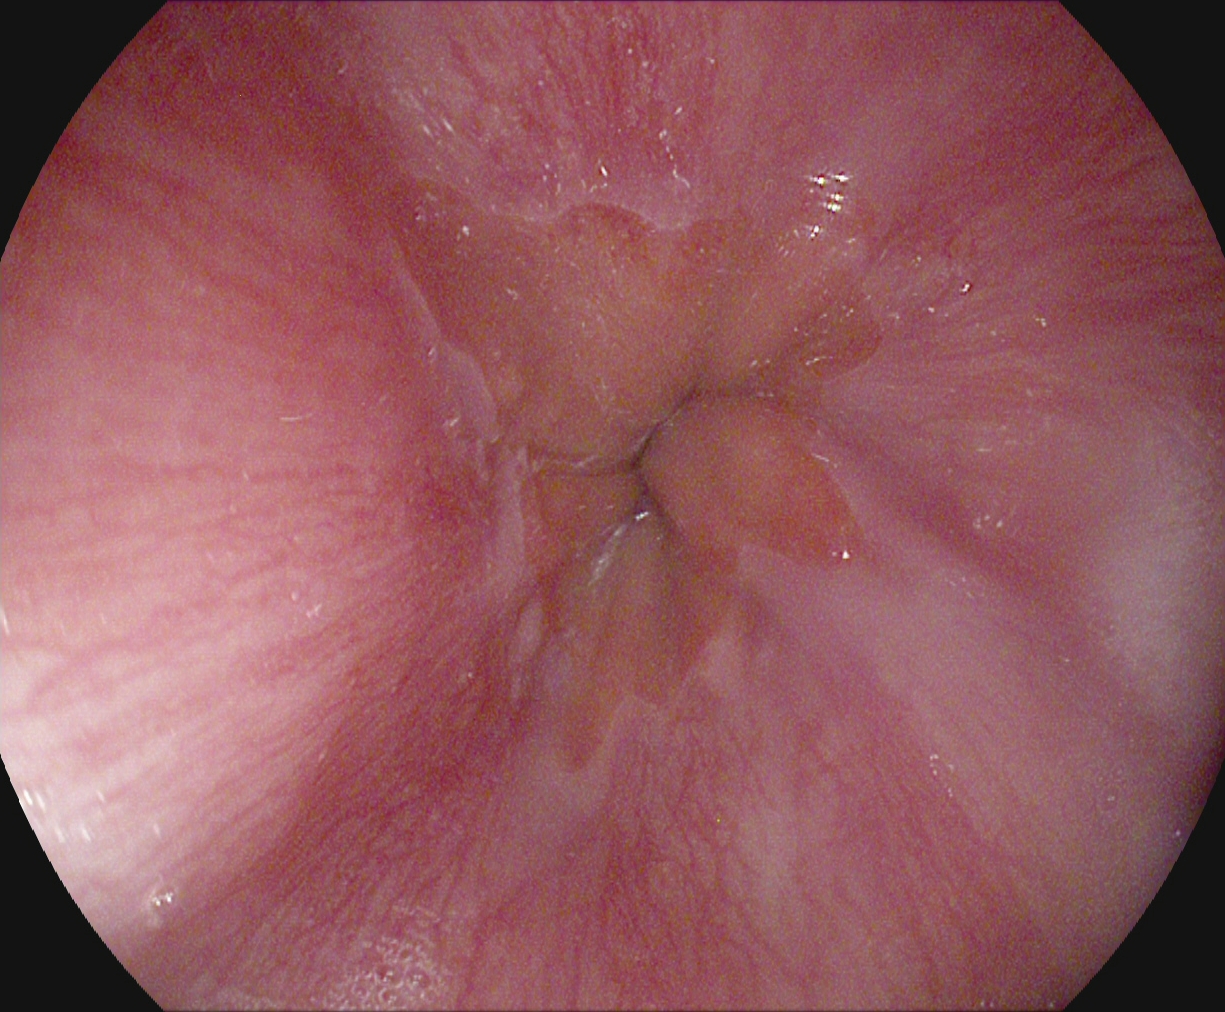Esophagogastroduodenoscopy. Anatomical landmark. Finding: Z-line (gastroesophageal junction).